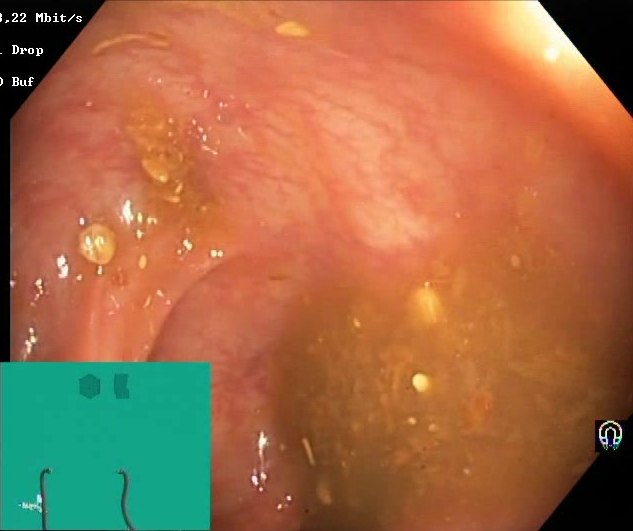PROCEDURE: Colonoscopy.
FINDINGS: Boston Bowel Preparation Scale score 0–1 (inadequate preparation).